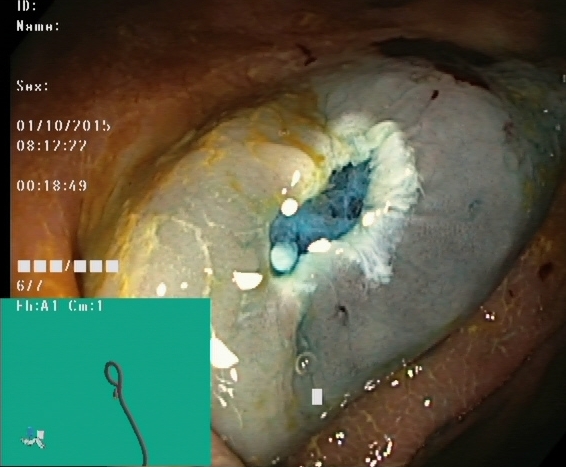Colonoscopy. Tract: lower GI tract. Finding: dyed resection margins (post-polypectomy).